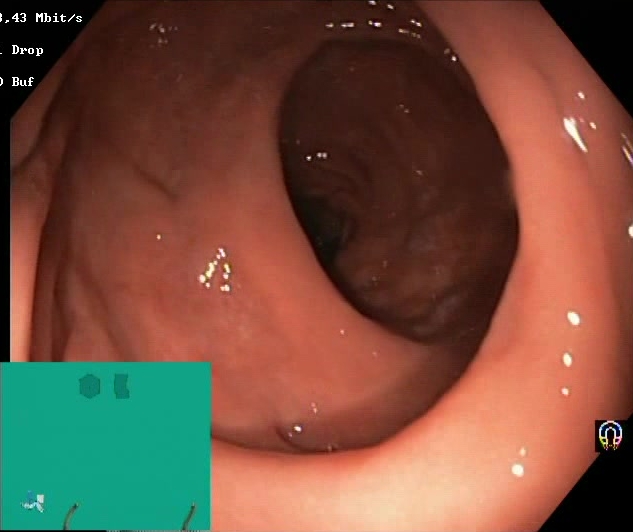This endoscopy frame of the lower GI tract shows Boston Bowel Preparation Scale score 2–3 (adequate preparation).